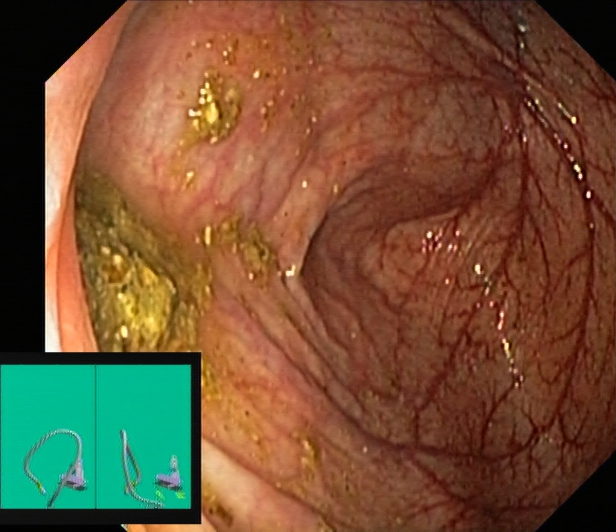{"modality": "lower gastrointestinal endoscopy", "tract": "lower GI tract", "finding": "cecum"}